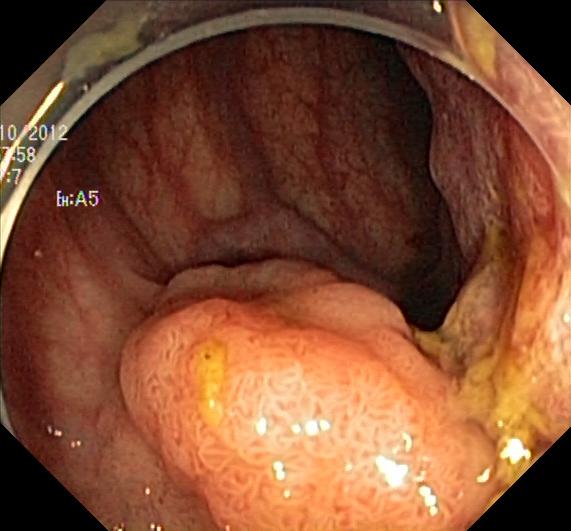{"modality": "lower-GI endoscopy", "tract": "lower GI tract", "finding": "colorectal polyp(s)"}